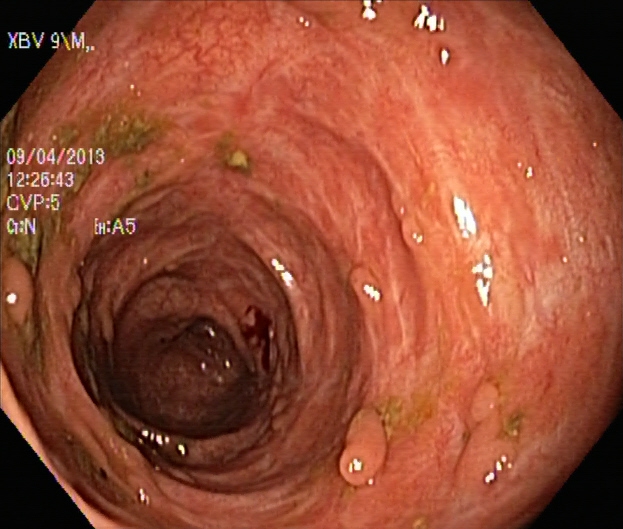This endoscopy frame shows colorectal polyp(s).